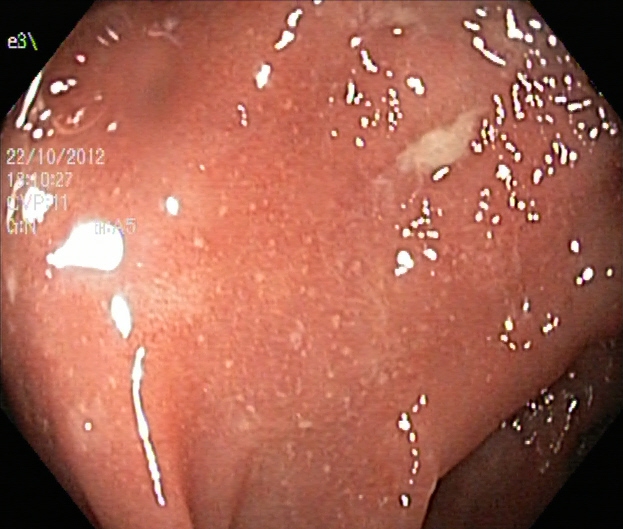Ulcerative colitis, Mayo endoscopic subscore 2.